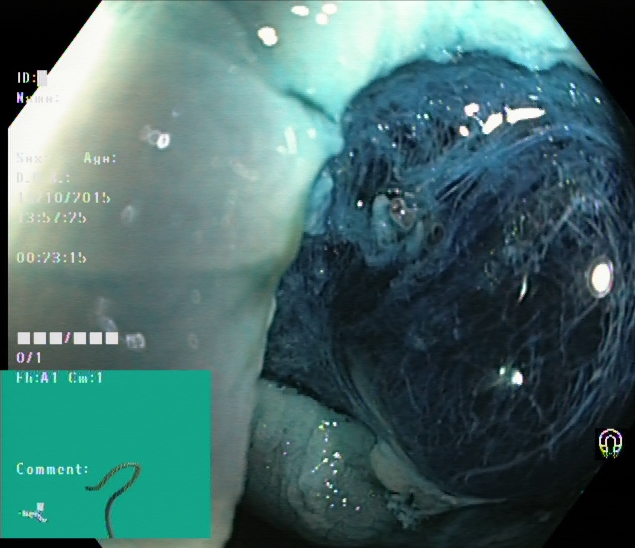Endoscopy image of the lower GI tract showing dyed resection margins (post-polypectomy).